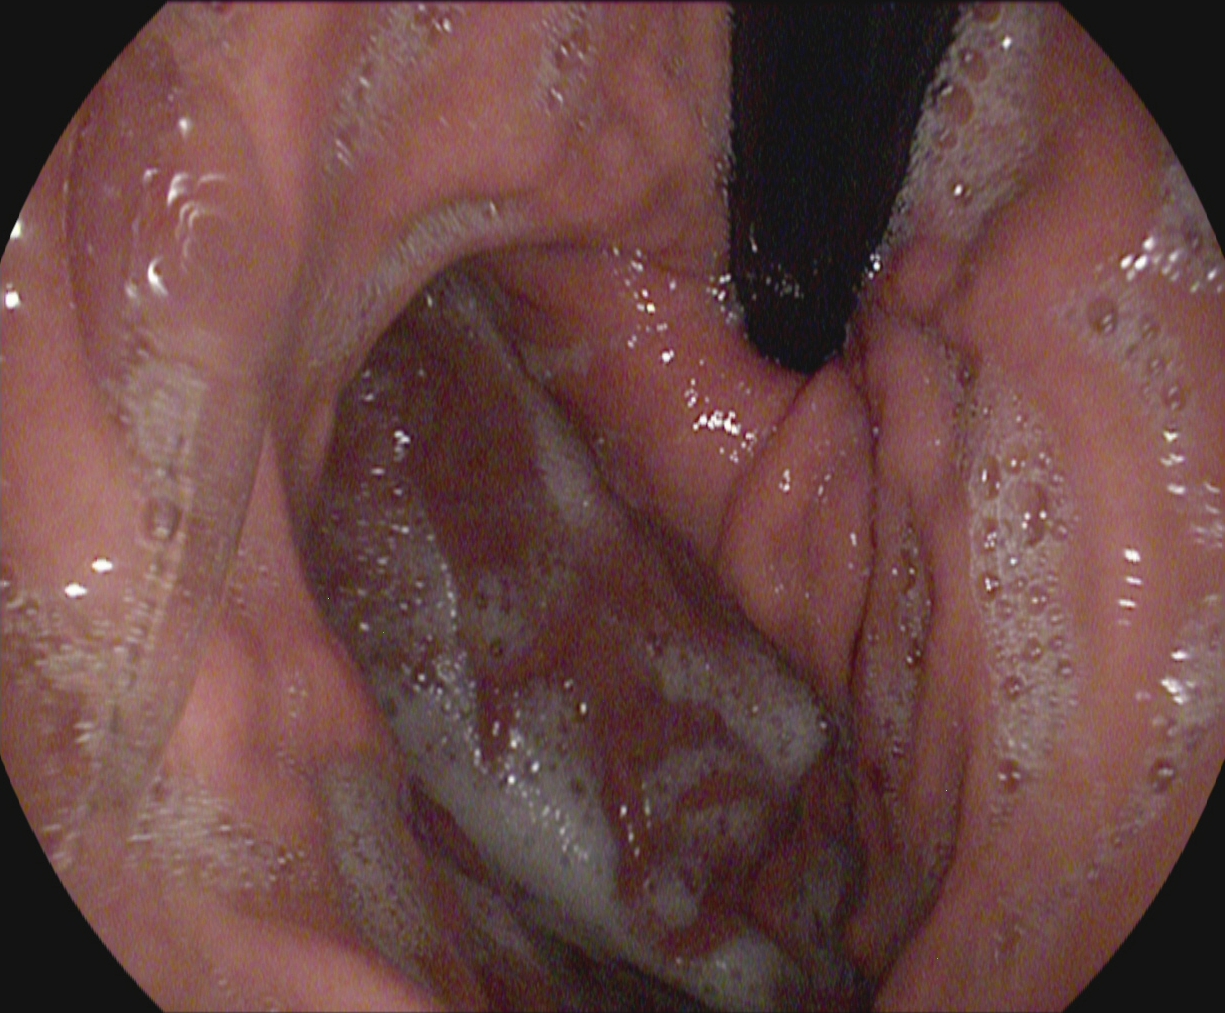Upper-GI endoscopy image showing stomach in retroflexion.